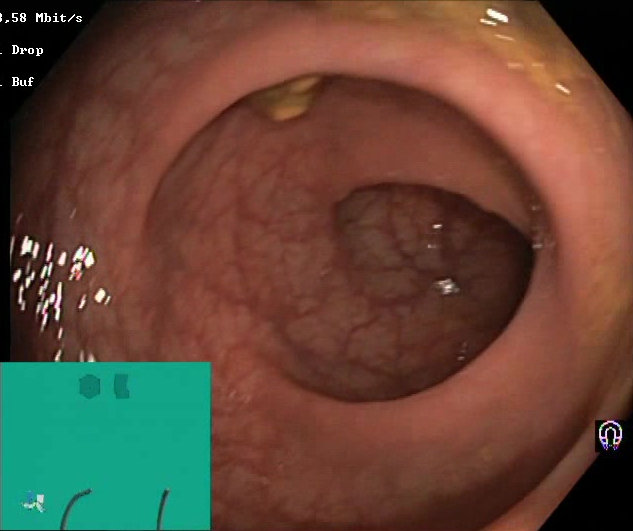This endoscopy frame of the lower GI tract shows Boston Bowel Preparation Scale score 2–3 (adequate preparation).